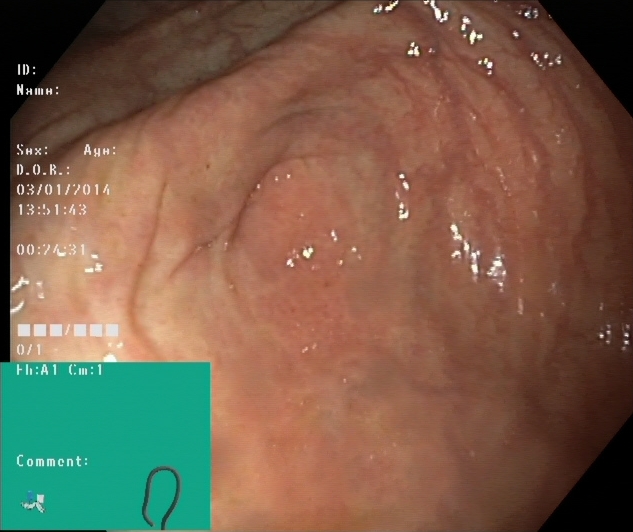Lower gastrointestinal endoscopy — cecum.